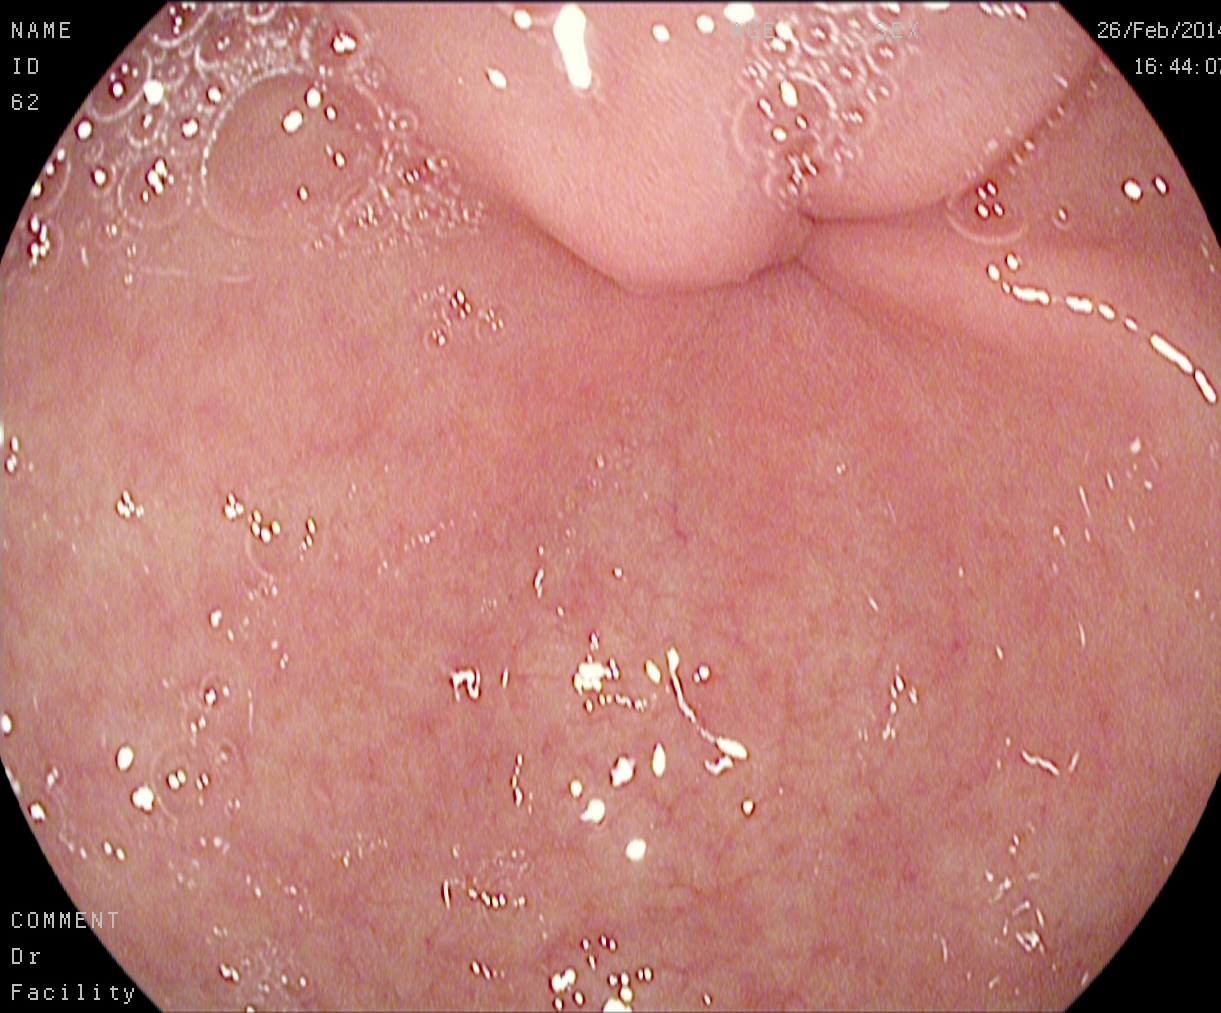PROCEDURE: Upper-GI endoscopy.
FINDINGS: Pylorus.